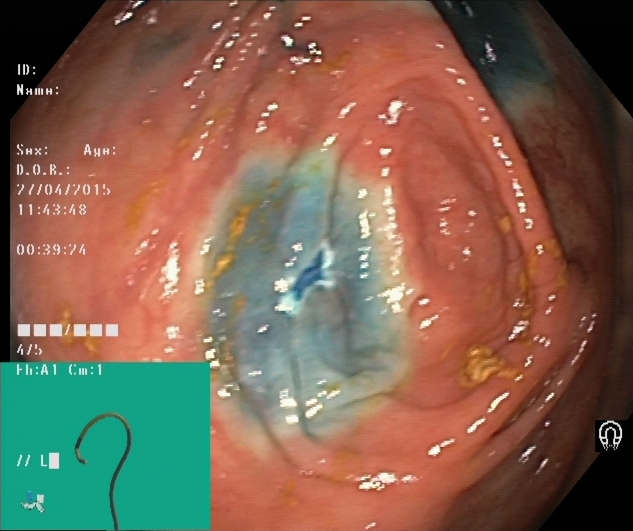Lower-GI endoscopy — dyed resection margins (post-polypectomy).